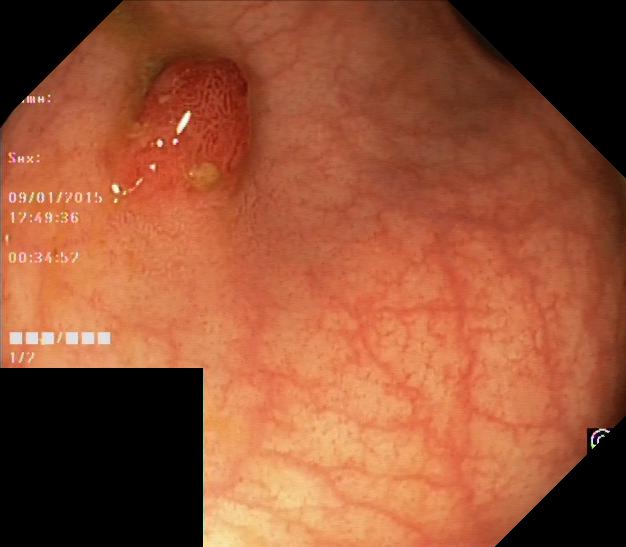Endoscopic frame showing colorectal polyp(s).